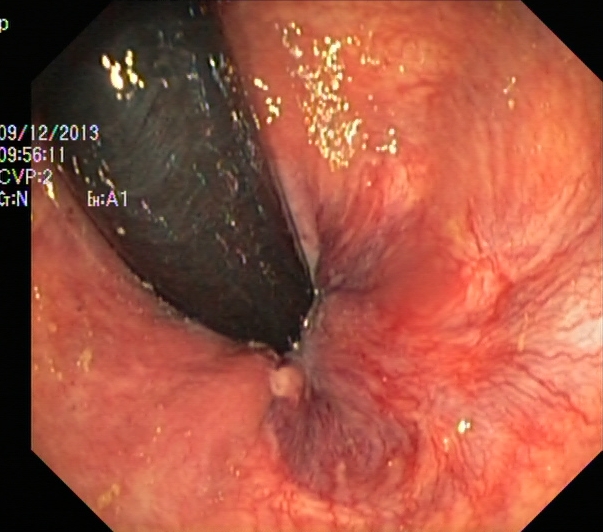Lower gastrointestinal endoscopy — rectum in retroflexion.